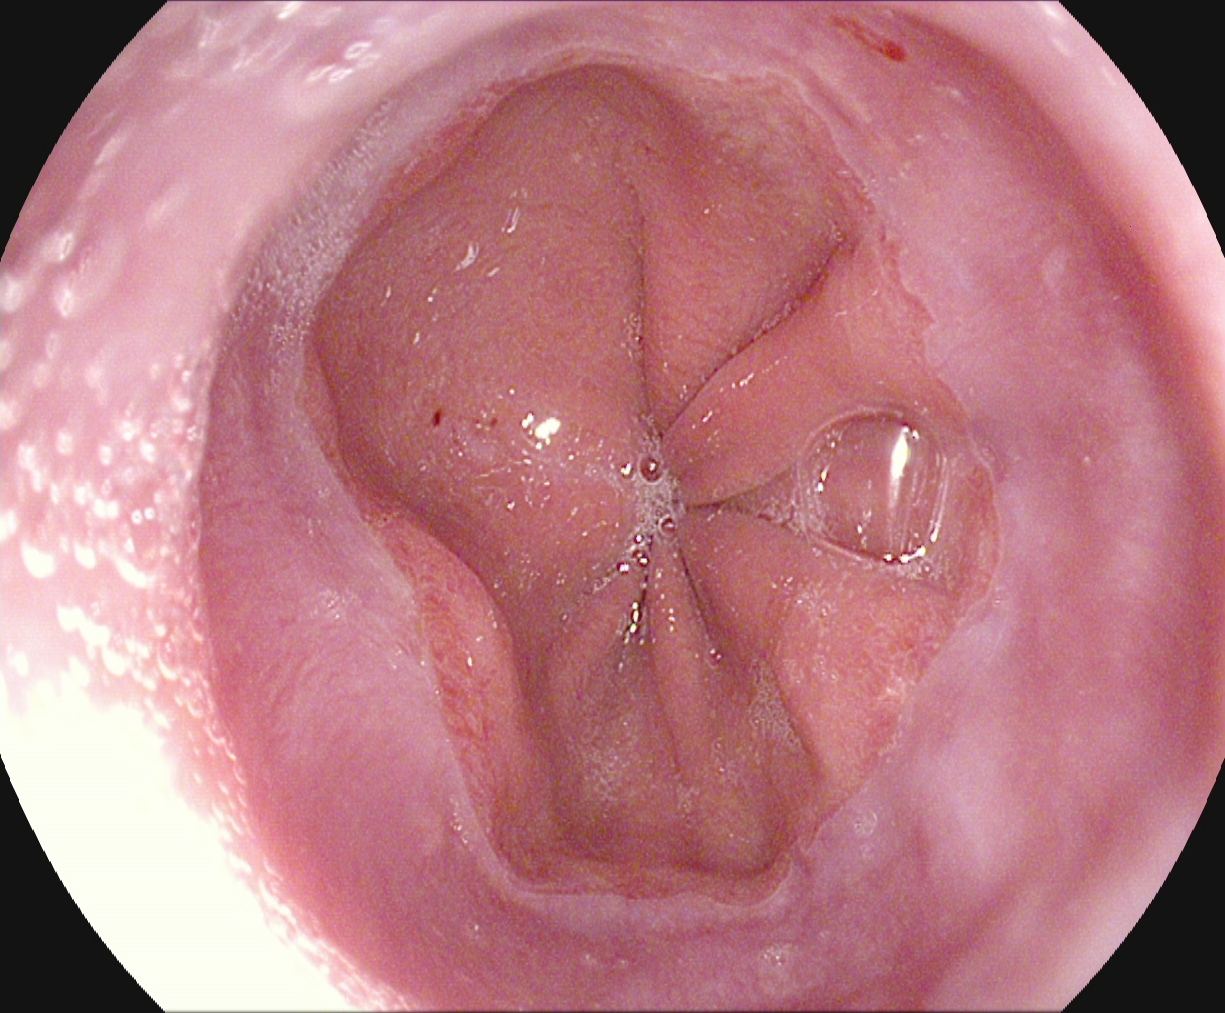Endoscopic image of the upper GI tract showing Z-line (gastroesophageal junction).